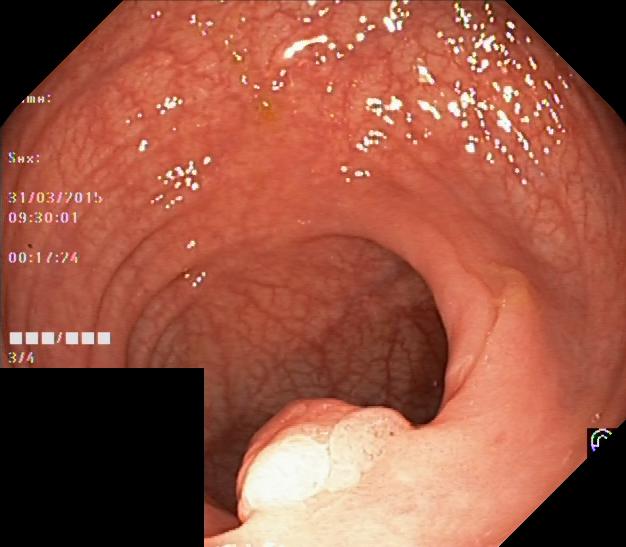Lower-GI endoscopy. Tract: lower GI tract. Pathological finding. Finding: colorectal polyp(s).